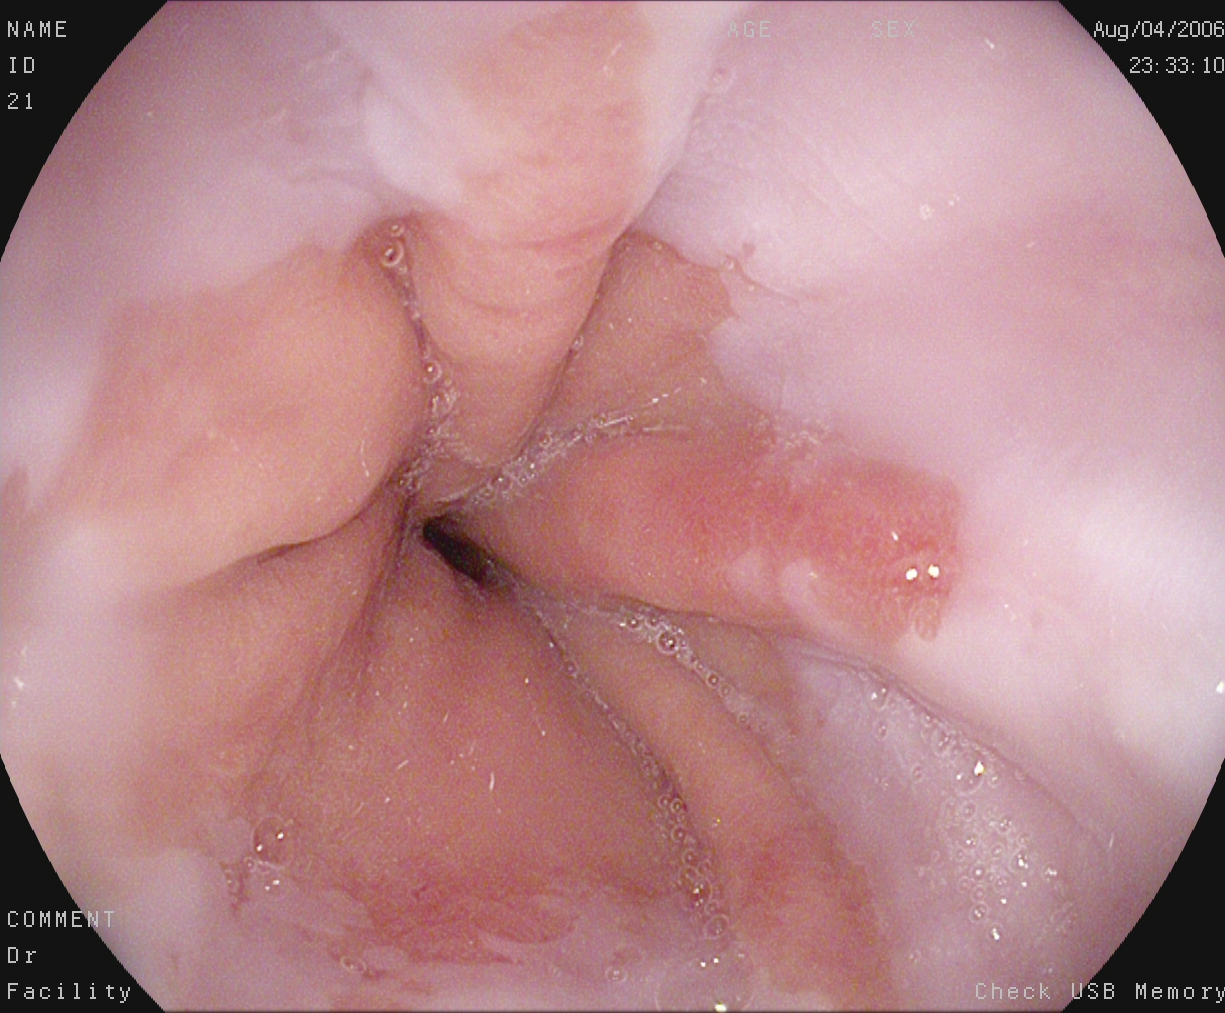Esophagogastroduodenoscopy — reflux esophagitis, Los Angeles grade A.